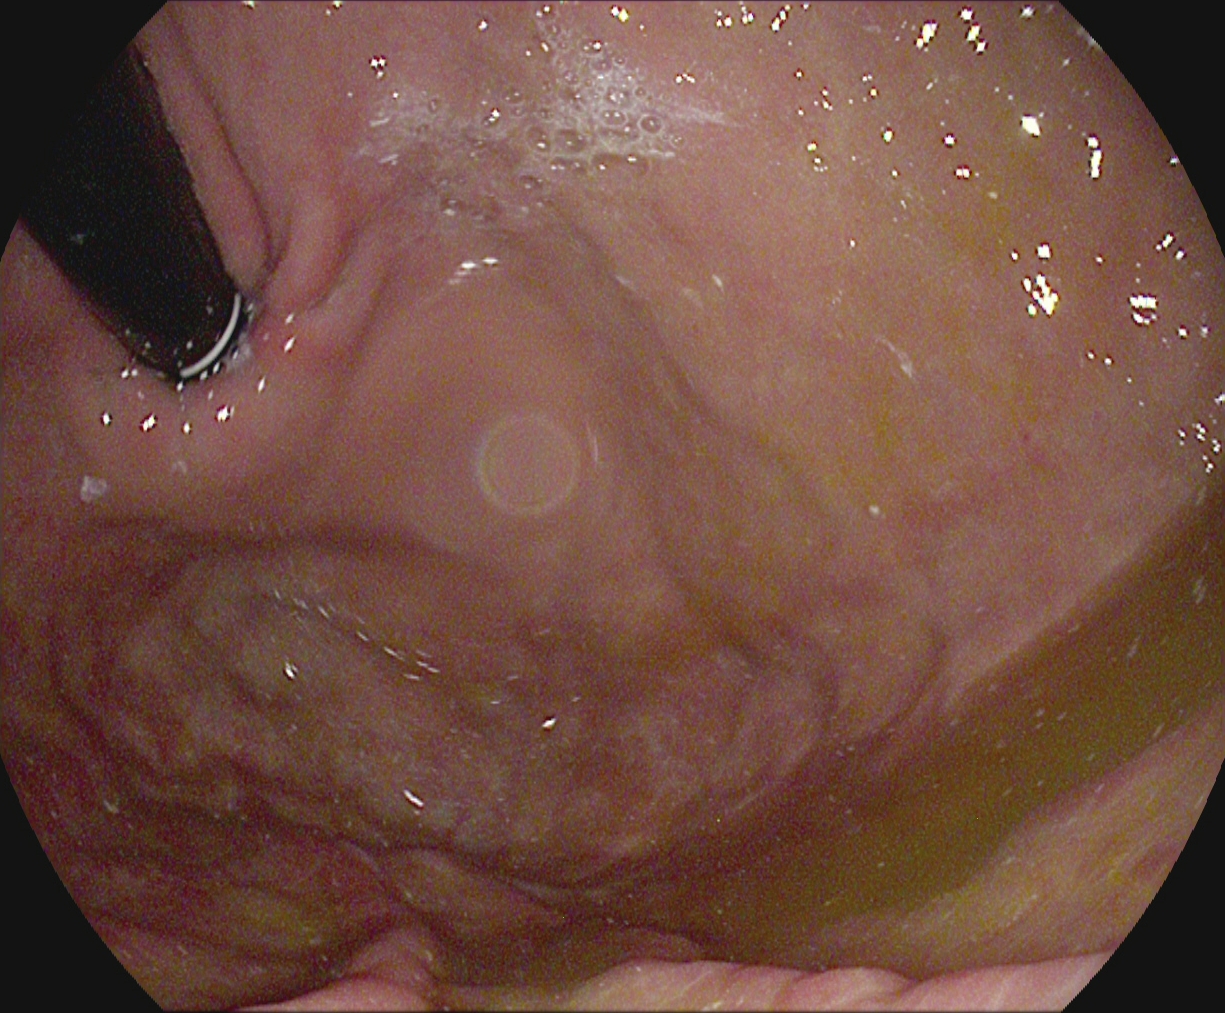Gastroscopy image showing stomach in retroflexion.